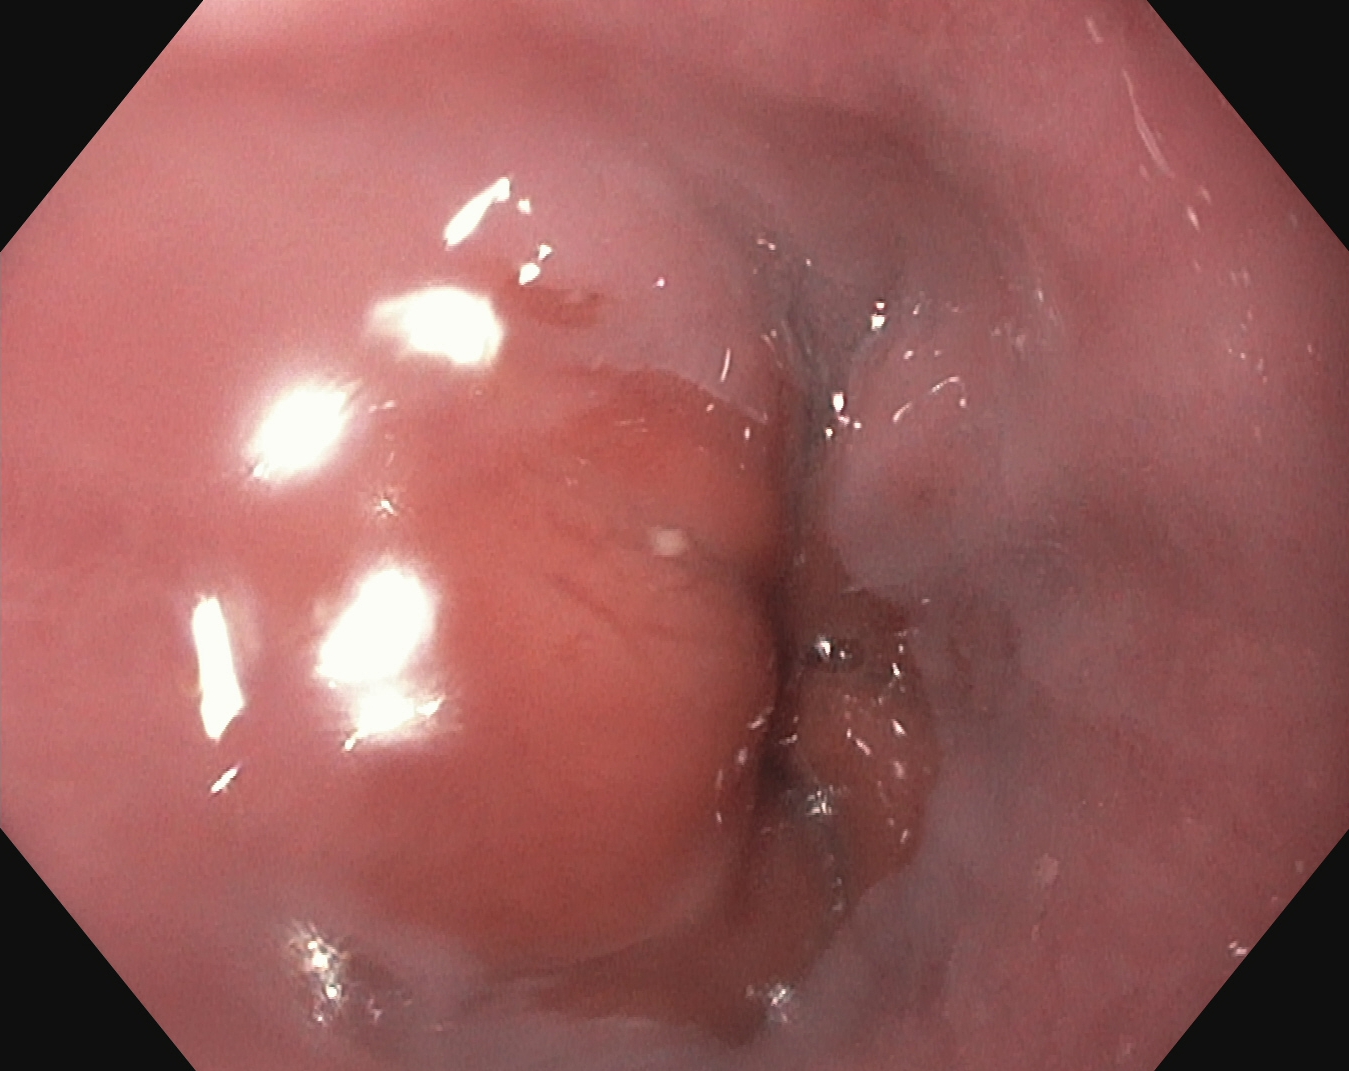EGD image showing Z-line (gastroesophageal junction).